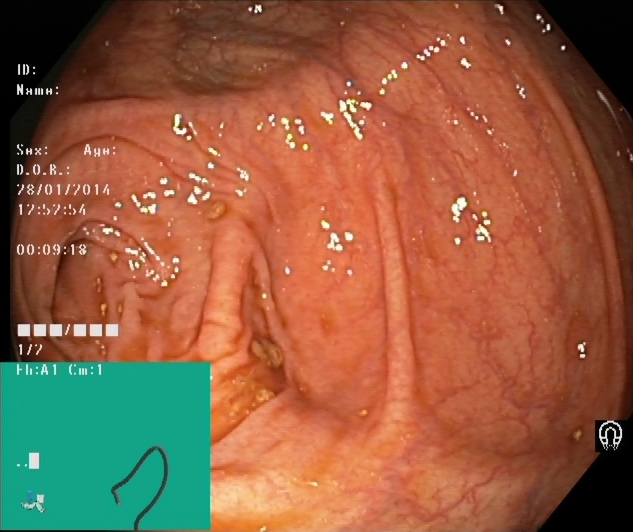This endoscopic image shows cecum.